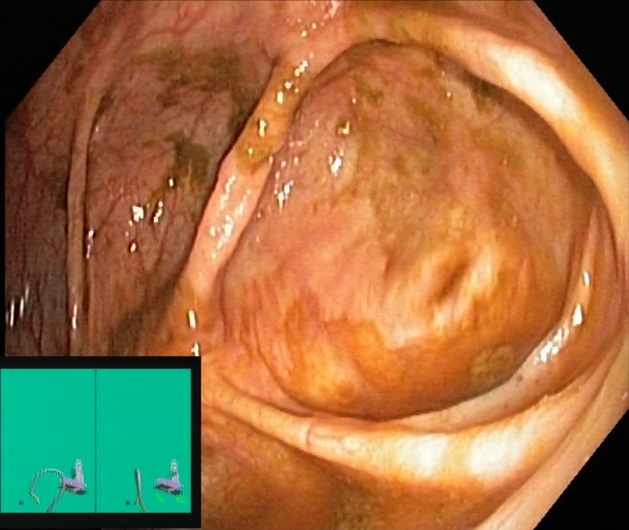Lower-GI endoscopy. Tract: lower GI tract. Finding: cecum.